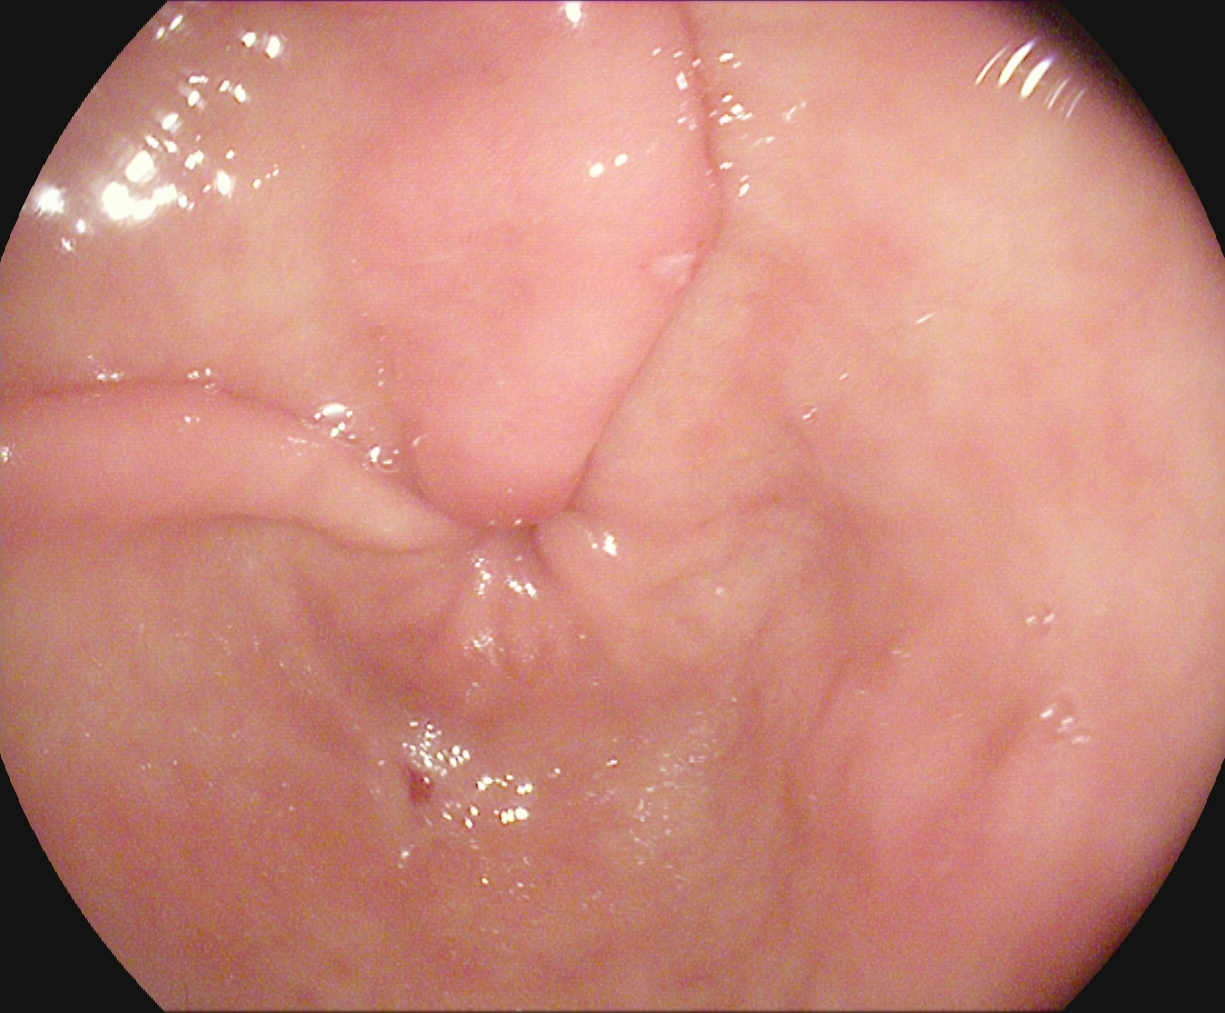modality: esophagogastroduodenoscopy
finding: pylorus